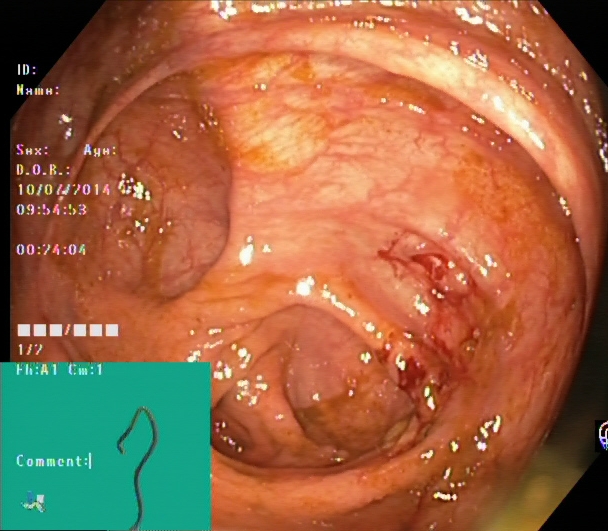Cecum.